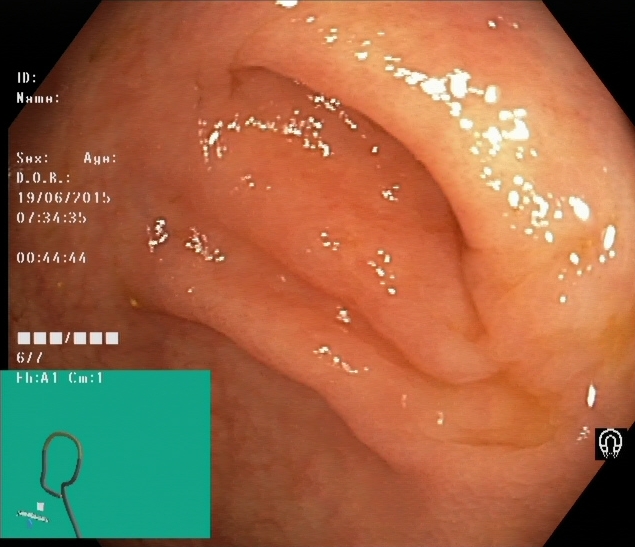GI endoscopy image showing cecum.